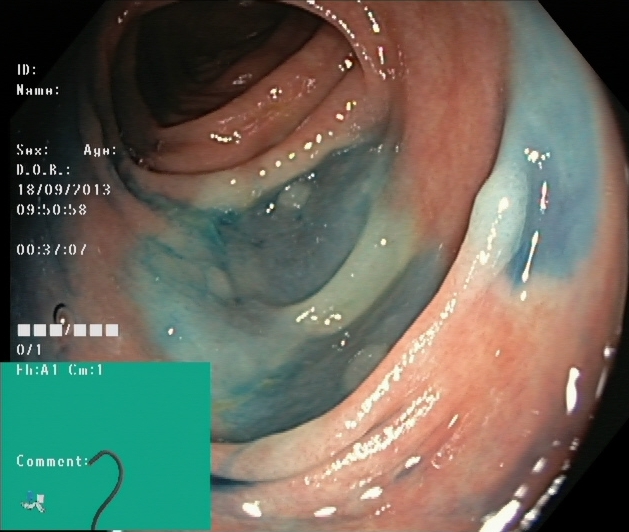modality: lower gastrointestinal endoscopy | tract: lower GI tract | finding: dyed and lifted polyp (pre-resection)